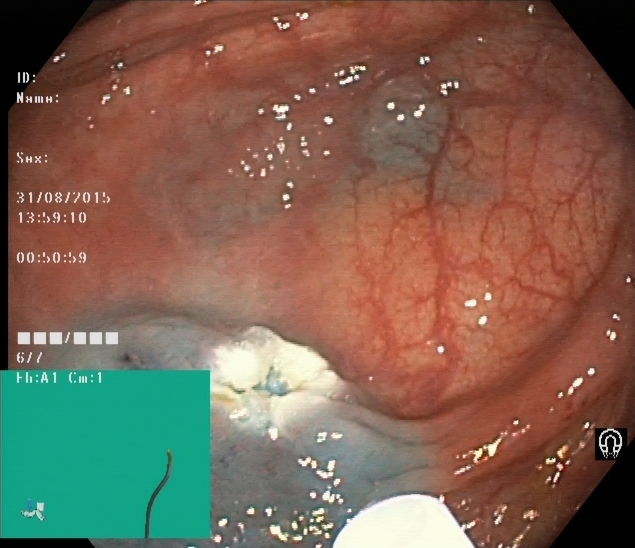{"modality": "colonoscopy", "tract": "lower GI tract", "category": "therapeutic intervention", "finding": "dyed resection margins (post-polypectomy)"}